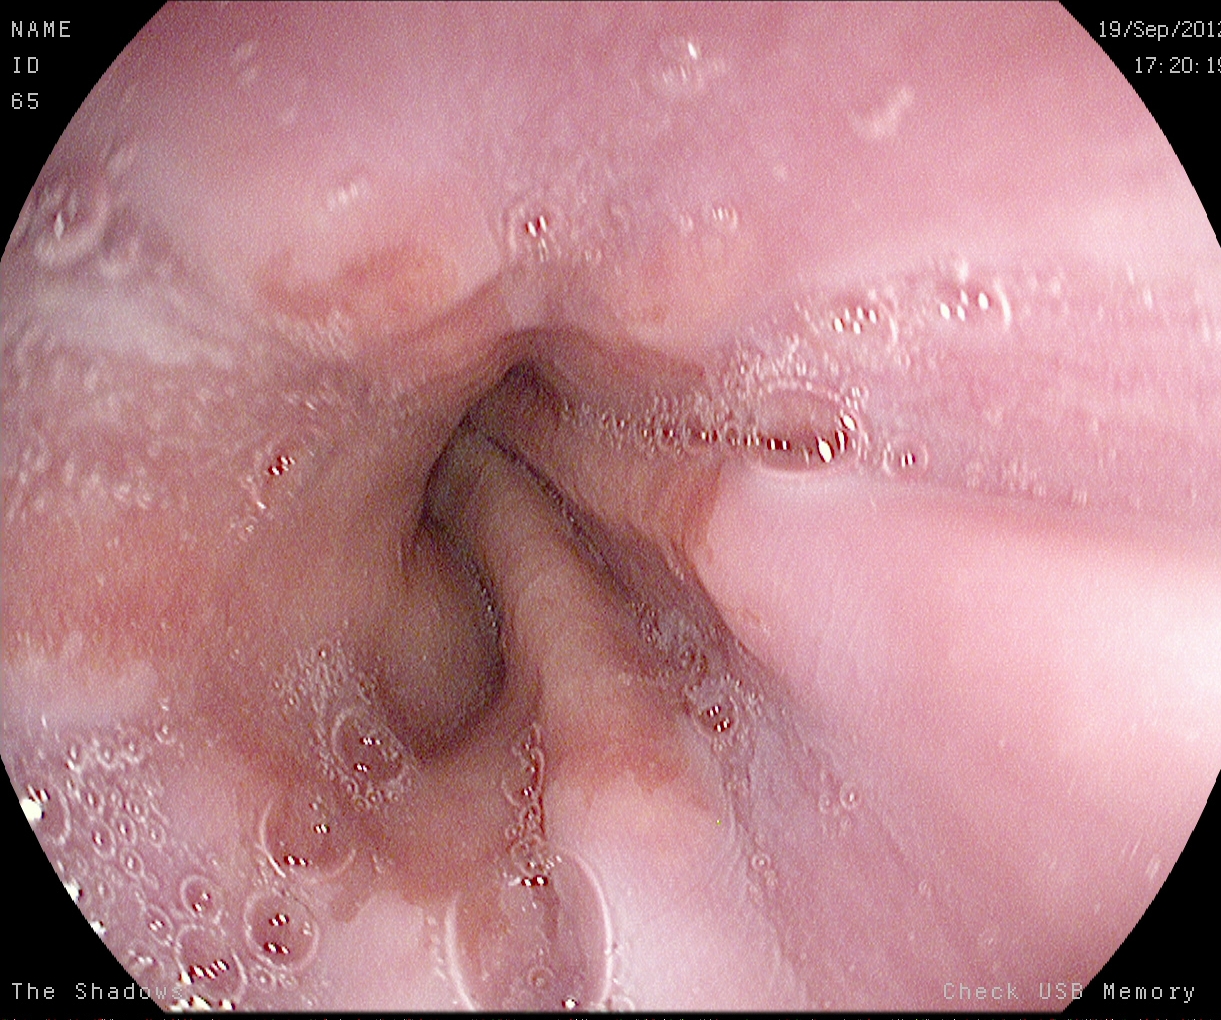modality: esophagogastroduodenoscopy
tract: upper GI tract
finding: Z-line (gastroesophageal junction)